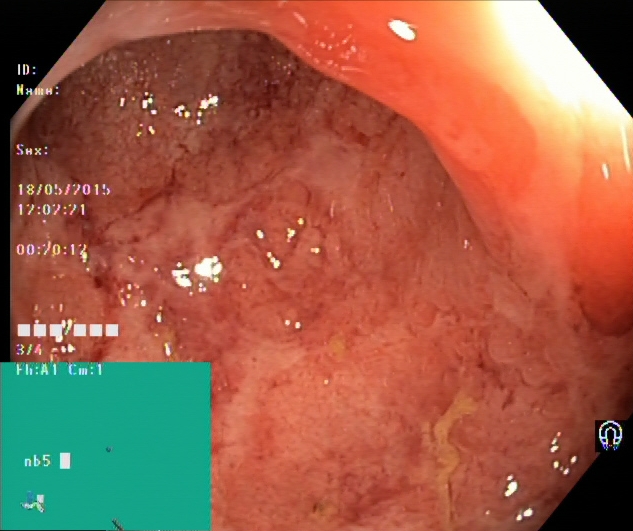PROCEDURE: Lower-GI endoscopy.
CATEGORY: Pathological finding.
FINDINGS: UC, Mayo endoscopic subscore 1.